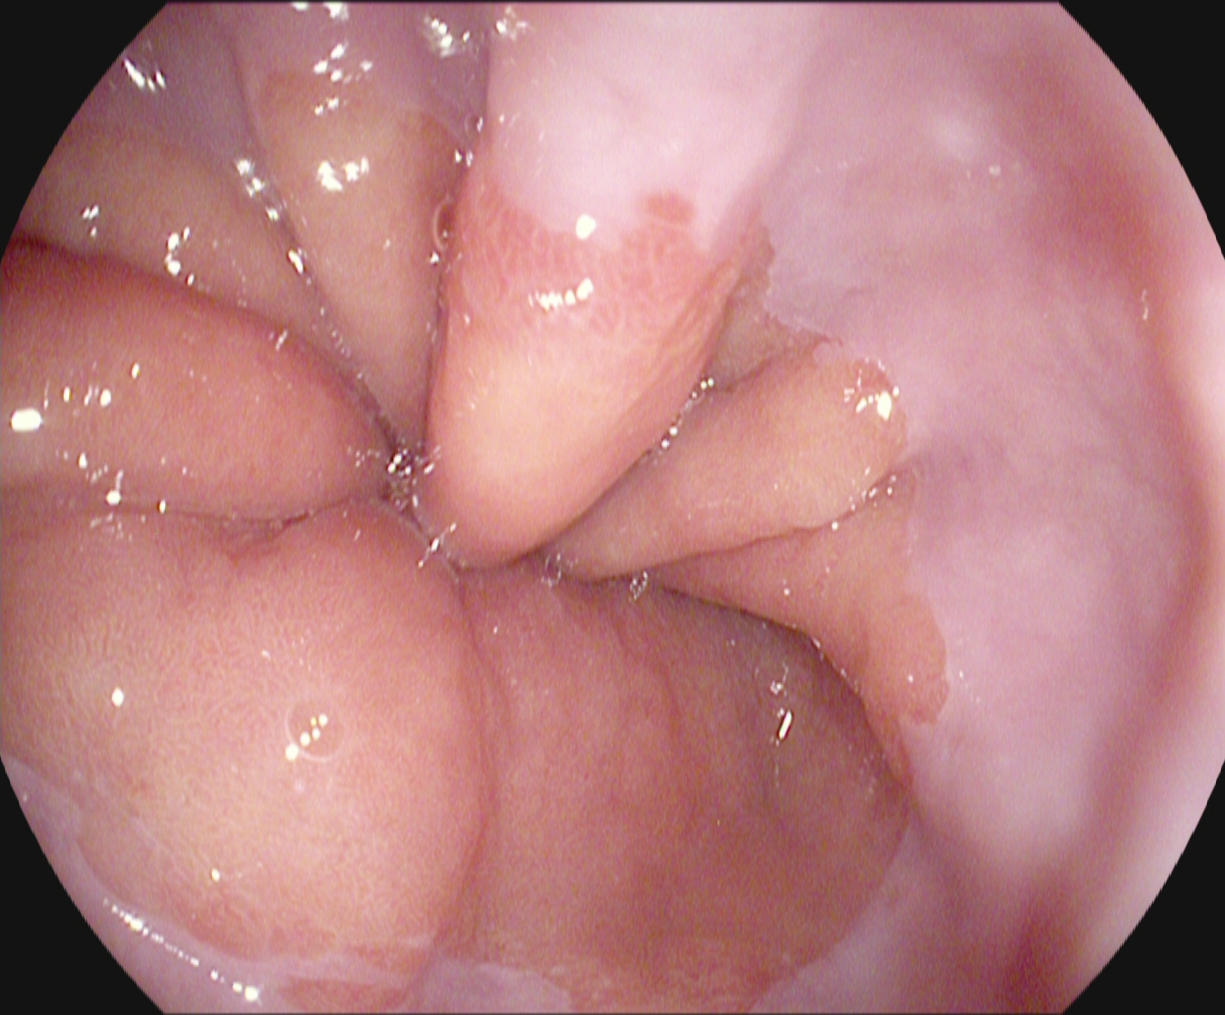Z-line (gastroesophageal junction).